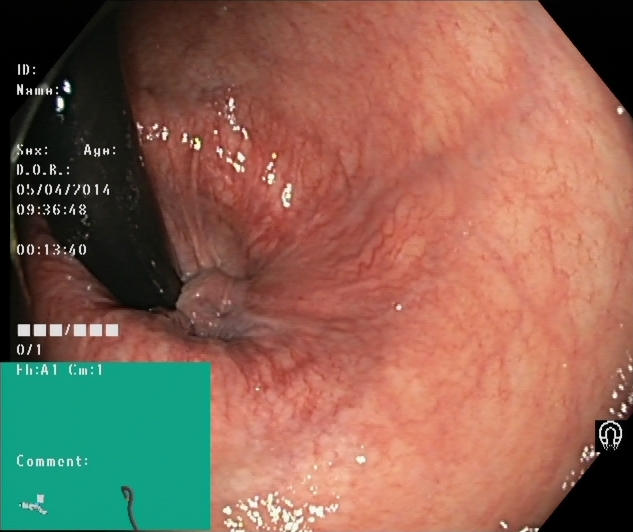Colonoscopy. Tract: lower GI tract. Anatomical landmark. Finding: rectum in retroflexion.